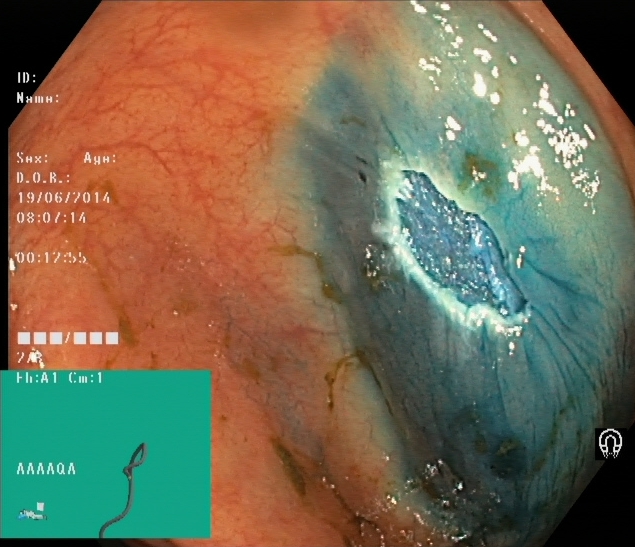modality: lower gastrointestinal endoscopy | tract: lower GI tract | finding: dyed resection margins (post-polypectomy)